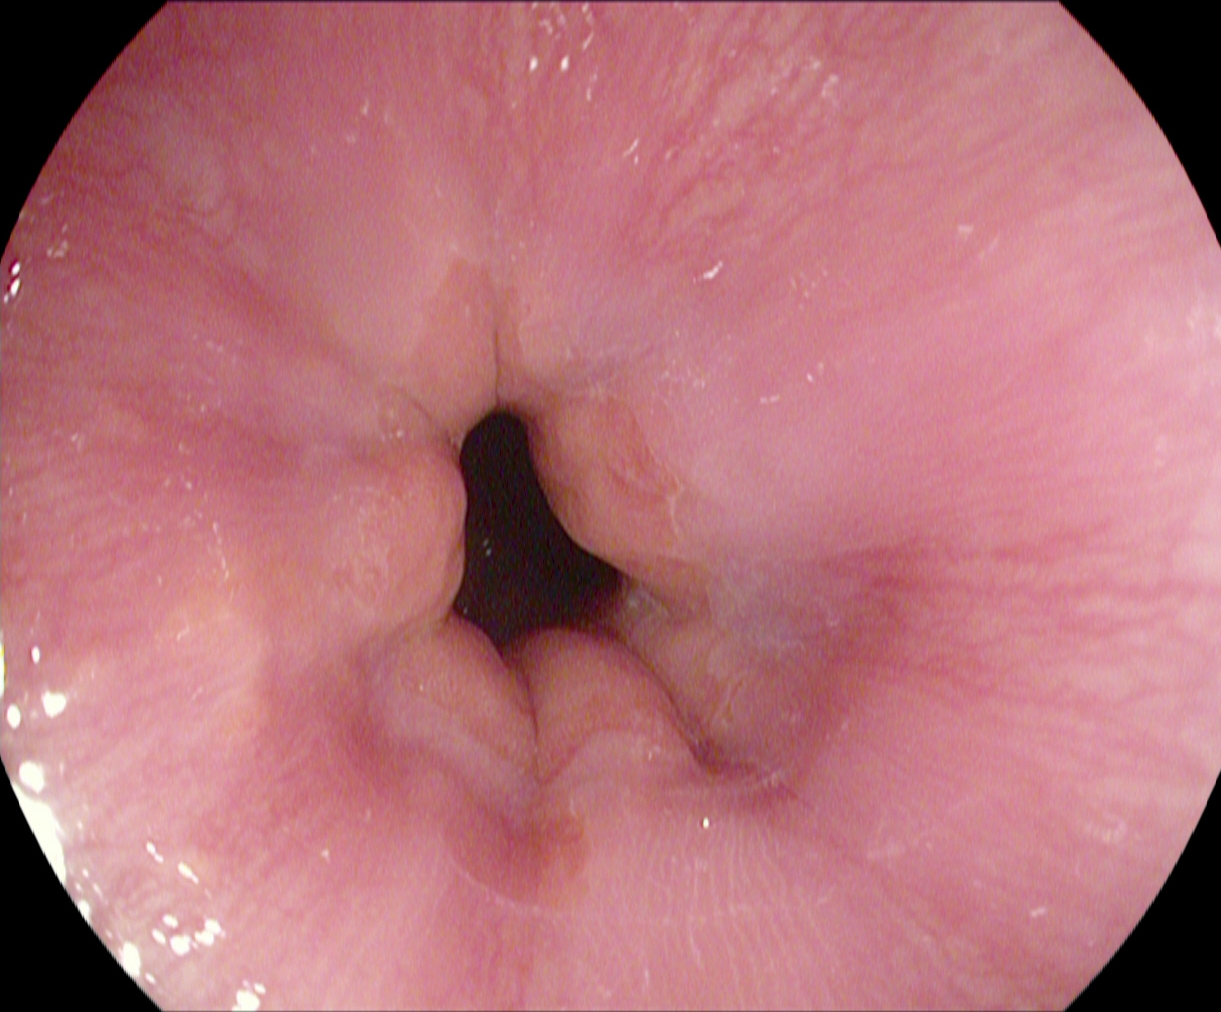modality: EGD | finding: Z-line (gastroesophageal junction)